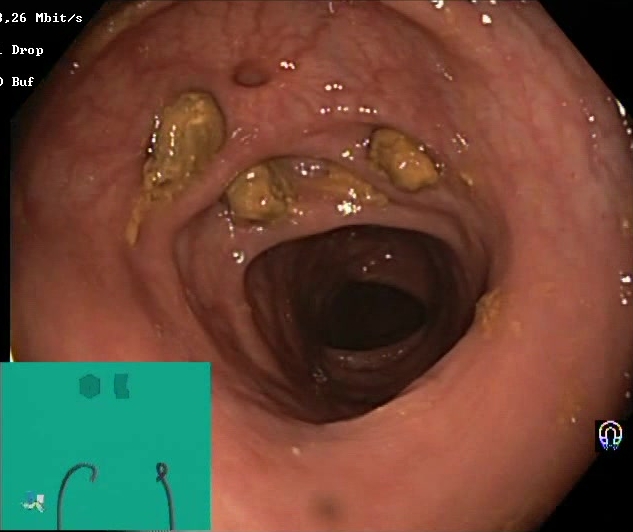This endoscopy frame of the lower GI tract shows impacted stool.